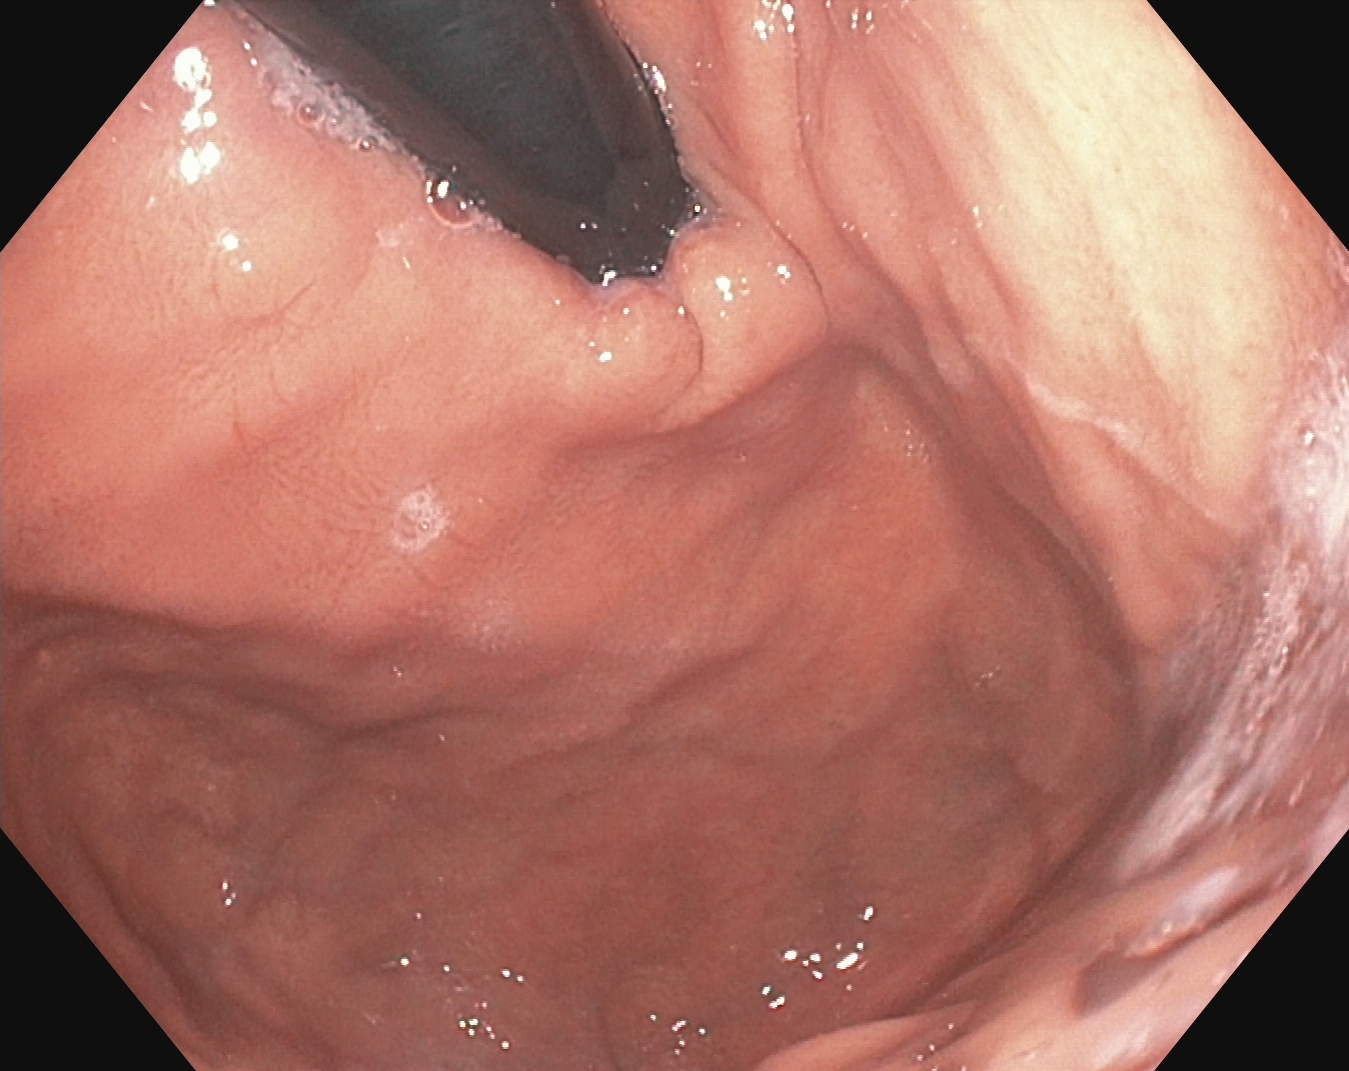Stomach in retroflexion.